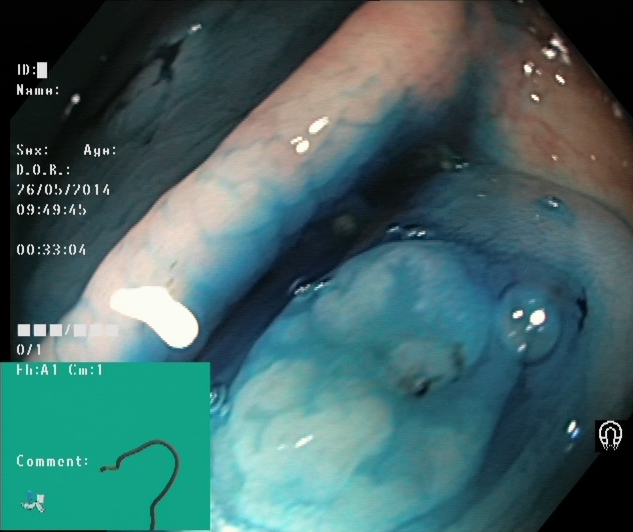Lower-GI endoscopy. Tract: lower GI tract. Therapeutic intervention. Finding: dyed and lifted polyp (pre-resection).